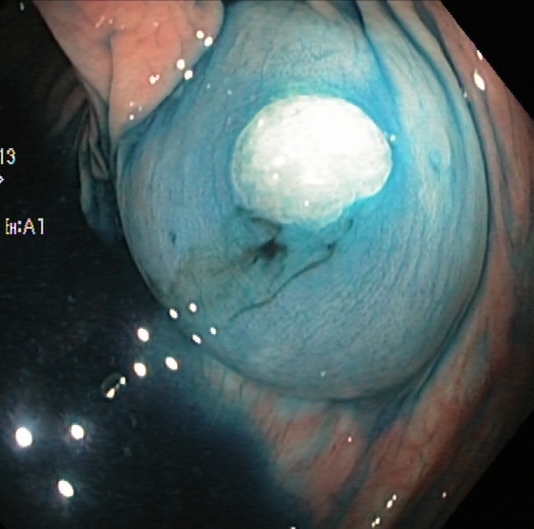dyed and lifted polyp (pre-resection).